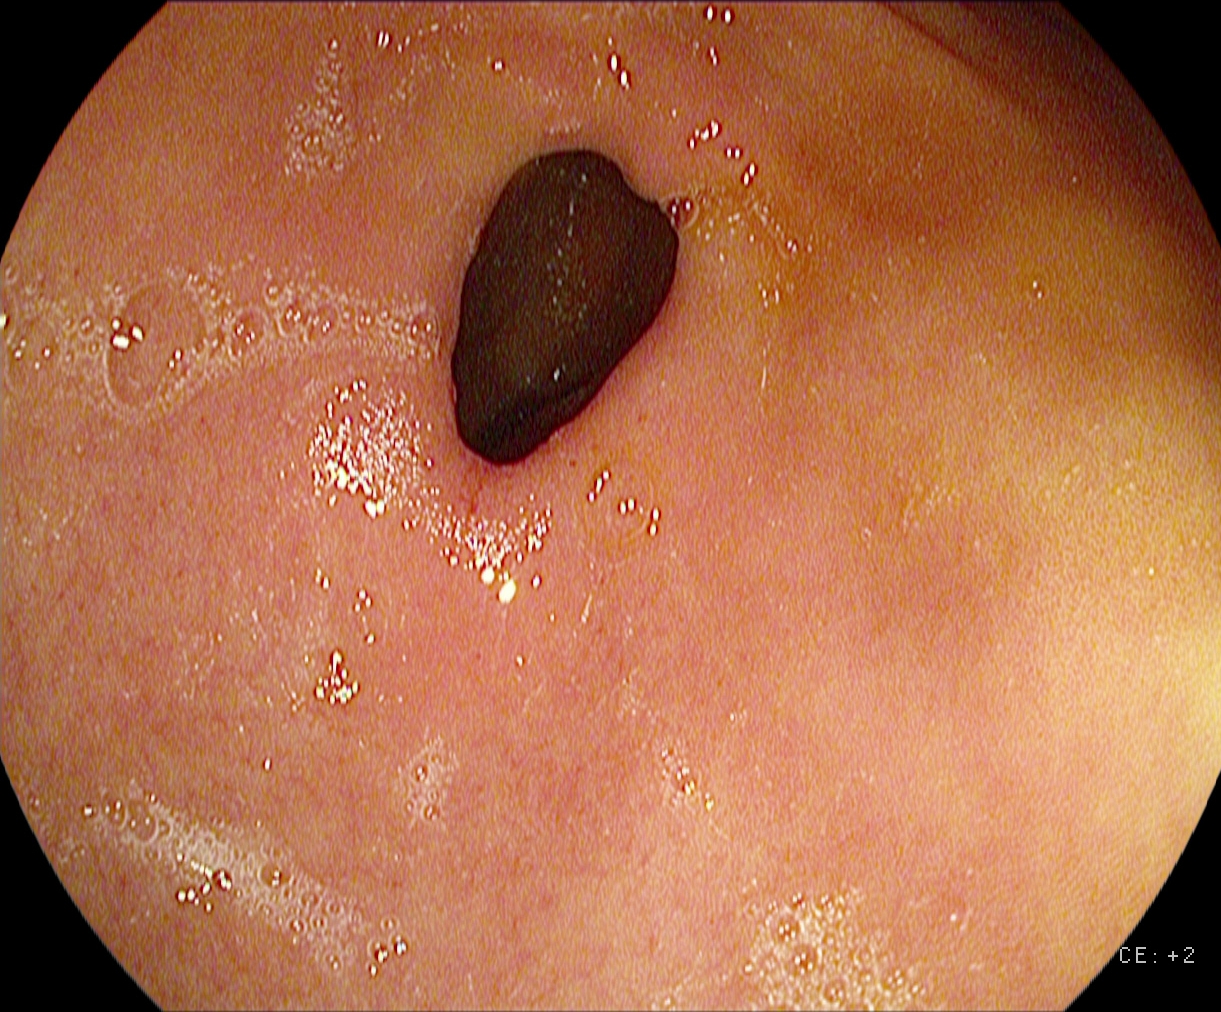Esophagogastroduodenoscopy — pylorus.